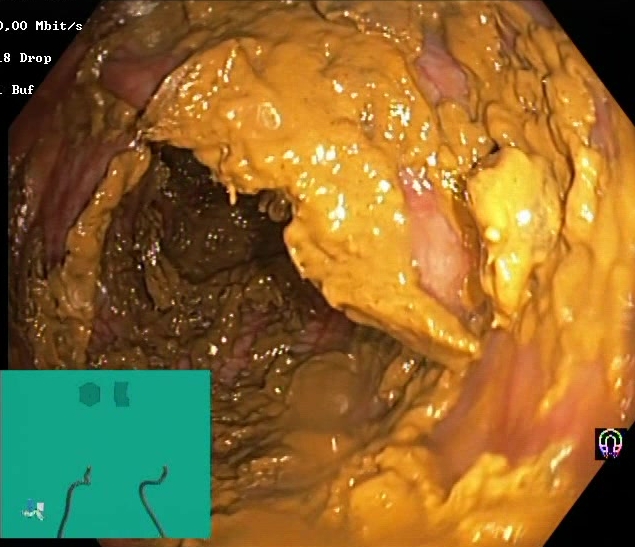Endoscopy image showing Boston Bowel Preparation Scale score 0–1 (inadequate preparation).